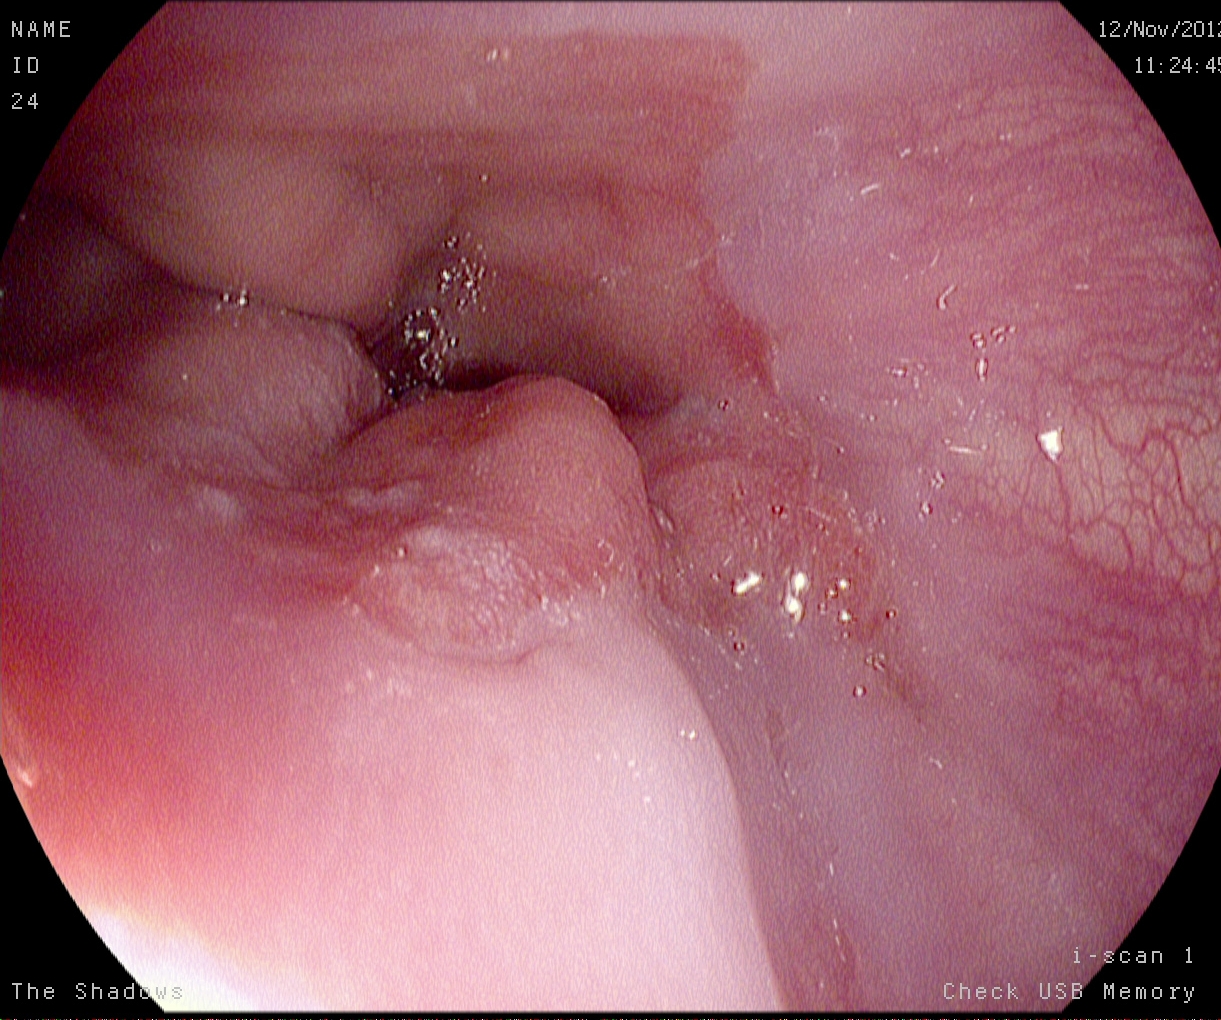This endoscopy frame of the upper GI tract shows reflux esophagitis, Los Angeles grade A.